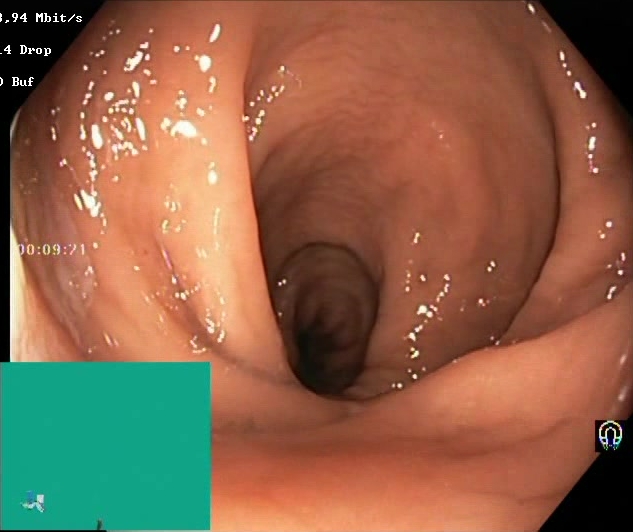{"modality": "colonoscopy", "category": "mucosal-view quality", "finding": "Boston Bowel Preparation Scale score 2\u20133 (adequate preparation)"}